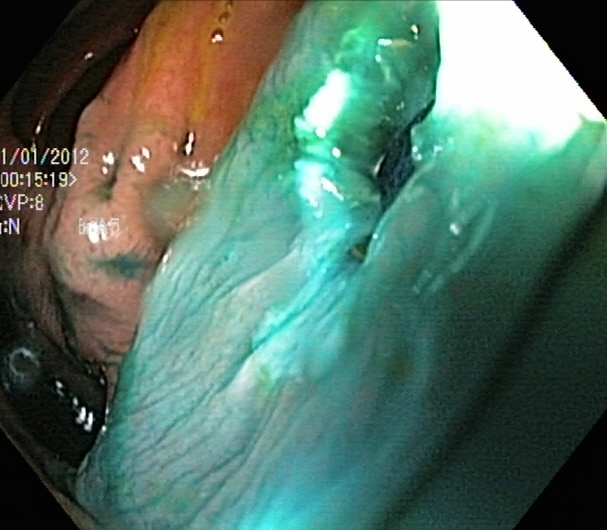dyed resection margins (post-polypectomy).